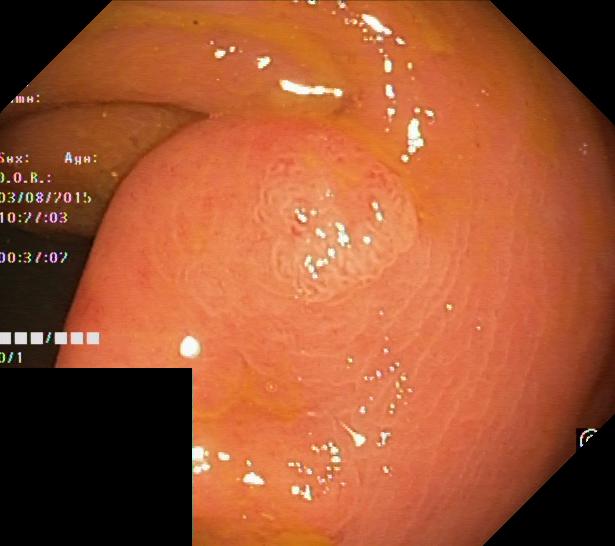Colonoscopy image of the lower GI tract showing colorectal polyp(s).